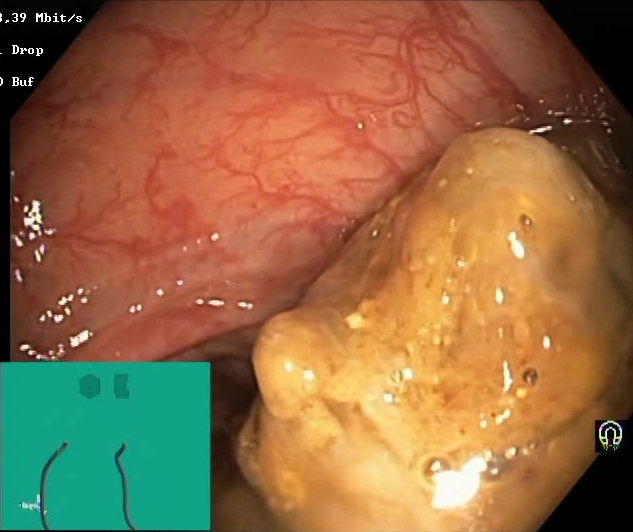modality: colonoscopy | category: mucosal-view quality | finding: BBPS score 0–1 (inadequate preparation)